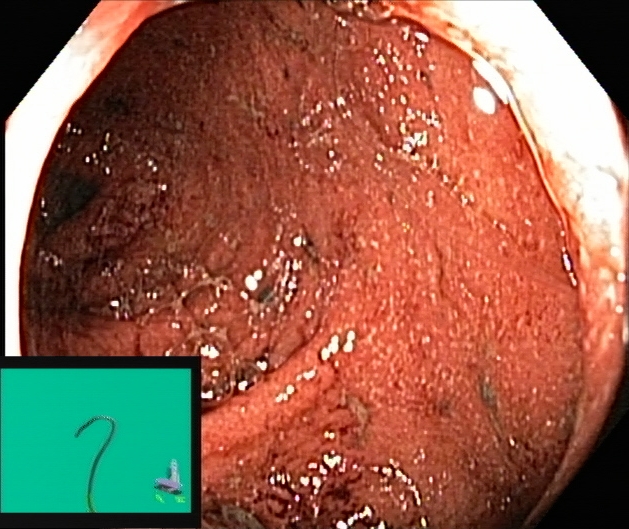Ulcerative colitis, Mayo endoscopic subscore 2–3.